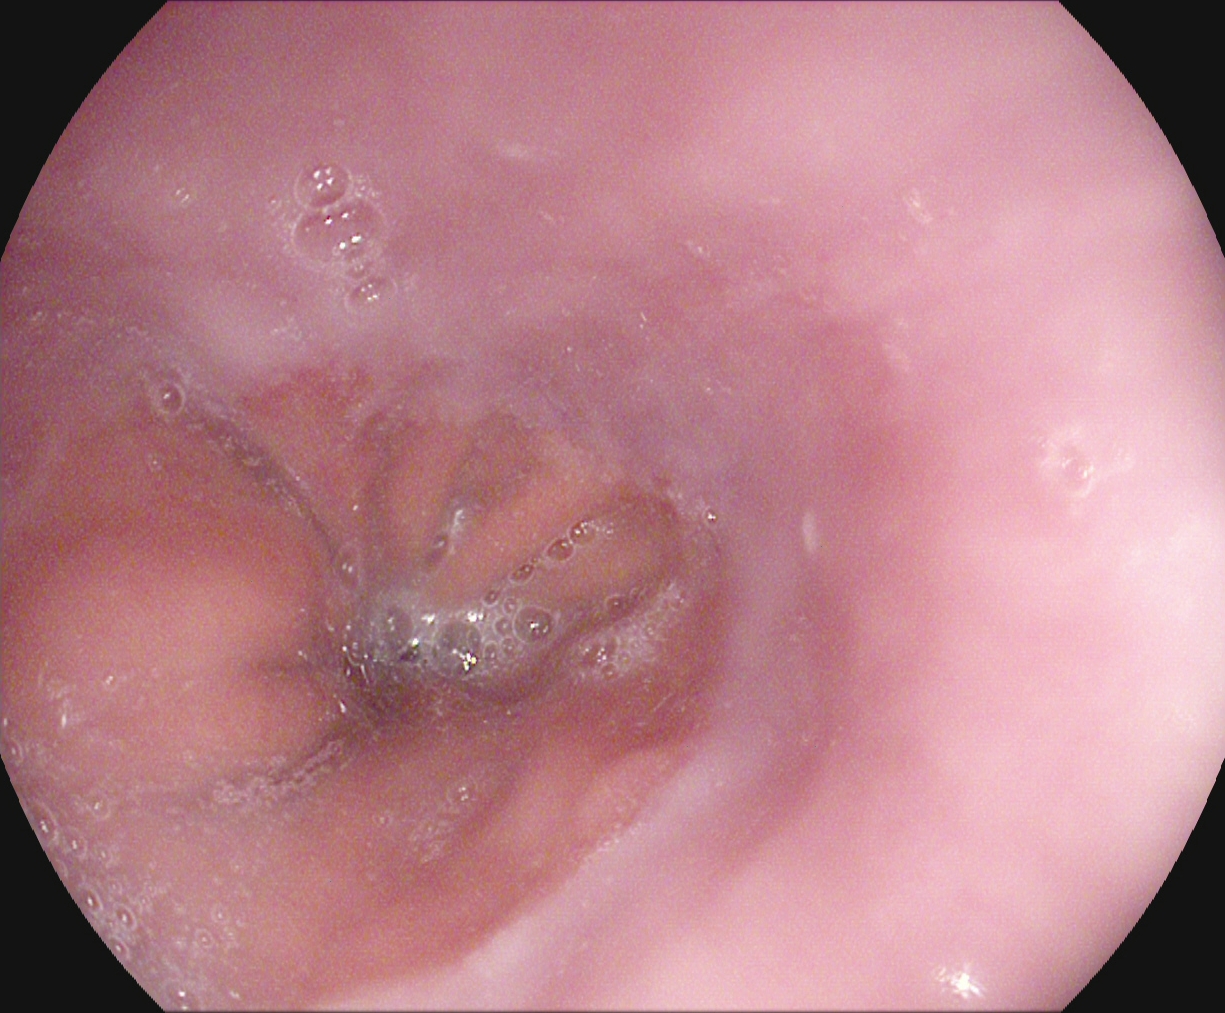reflux esophagitis, Los Angeles grade A.